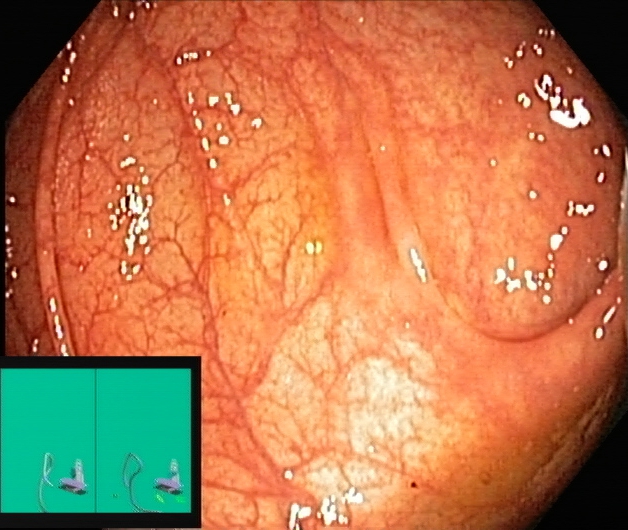Cecum.